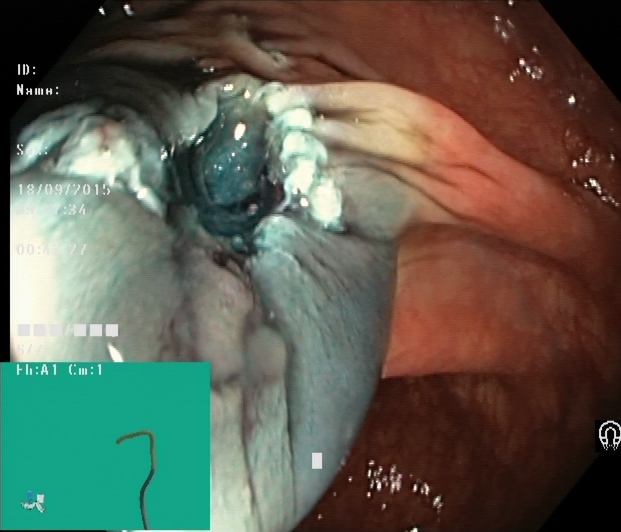This endoscopy frame shows dyed resection margins (post-polypectomy).